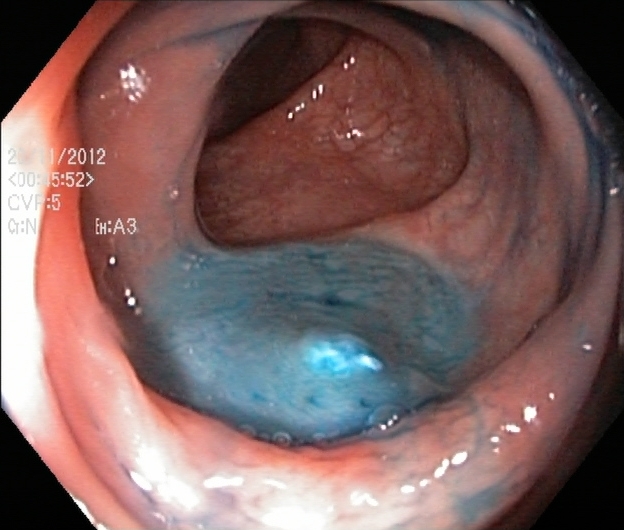modality: lower gastrointestinal endoscopy | finding: dyed resection margins (post-polypectomy)